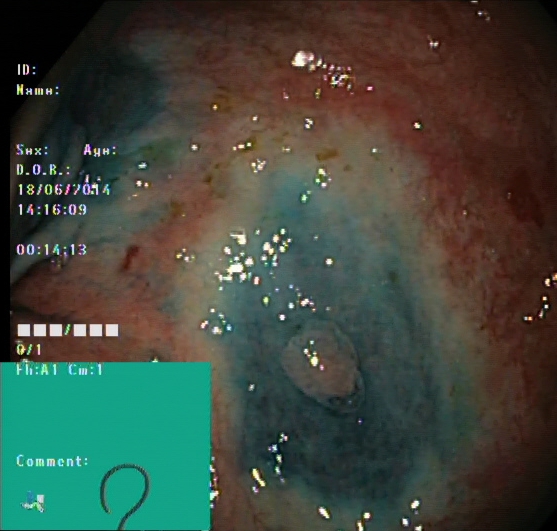dyed and lifted polyp (pre-resection).